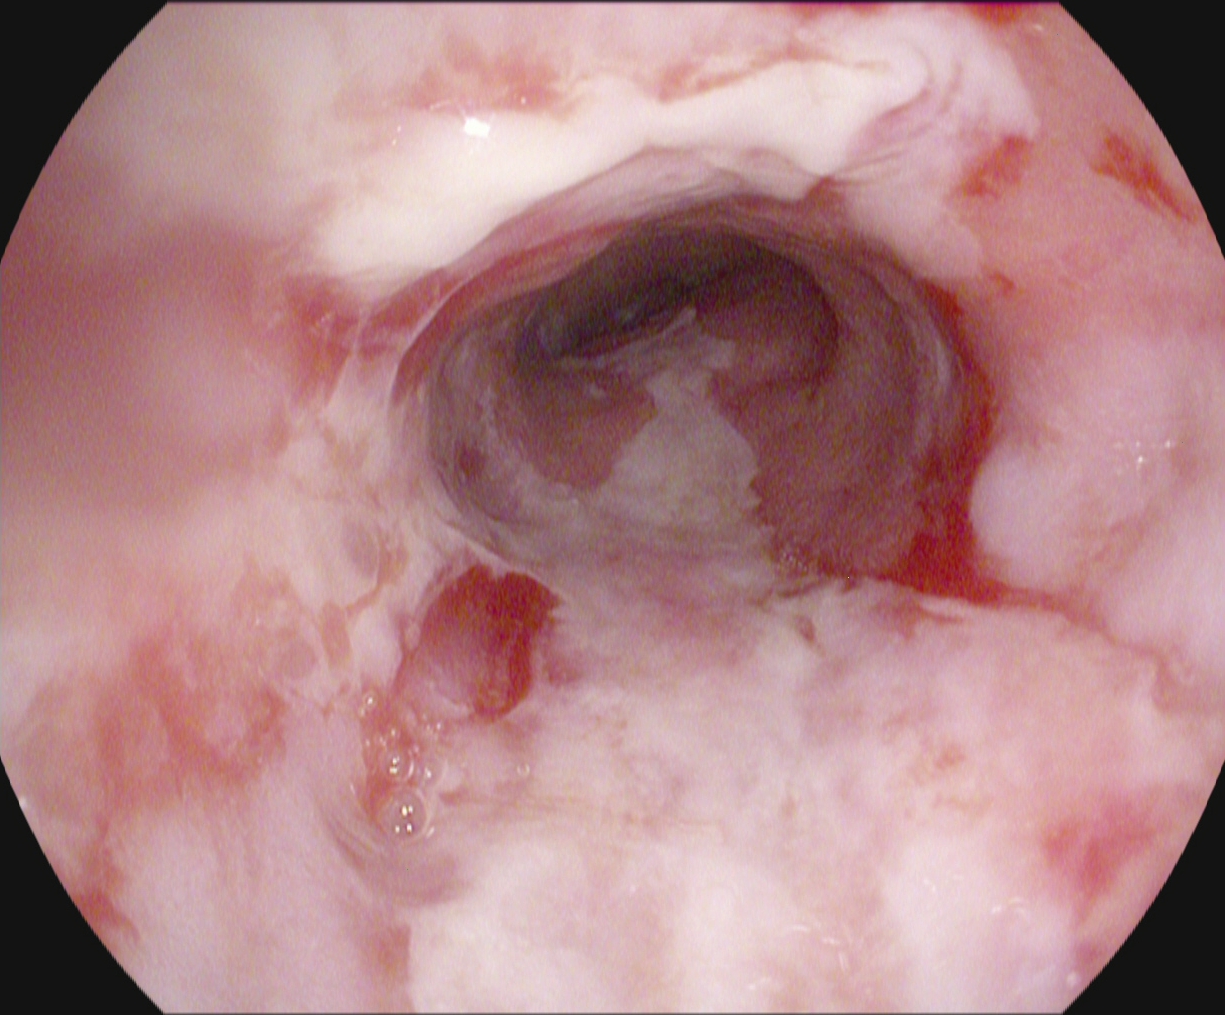PROCEDURE: Upper-GI endoscopy.
FINDINGS: Reflux esophagitis, Los Angeles grade B–D.